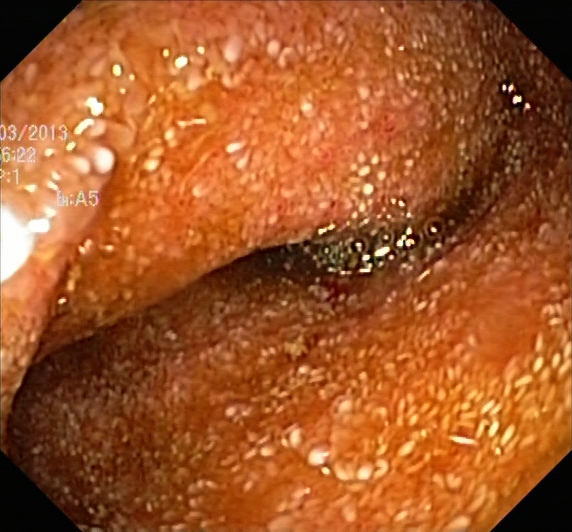This endoscopic image of the lower GI tract shows UC, Mayo endoscopic subscore 2.